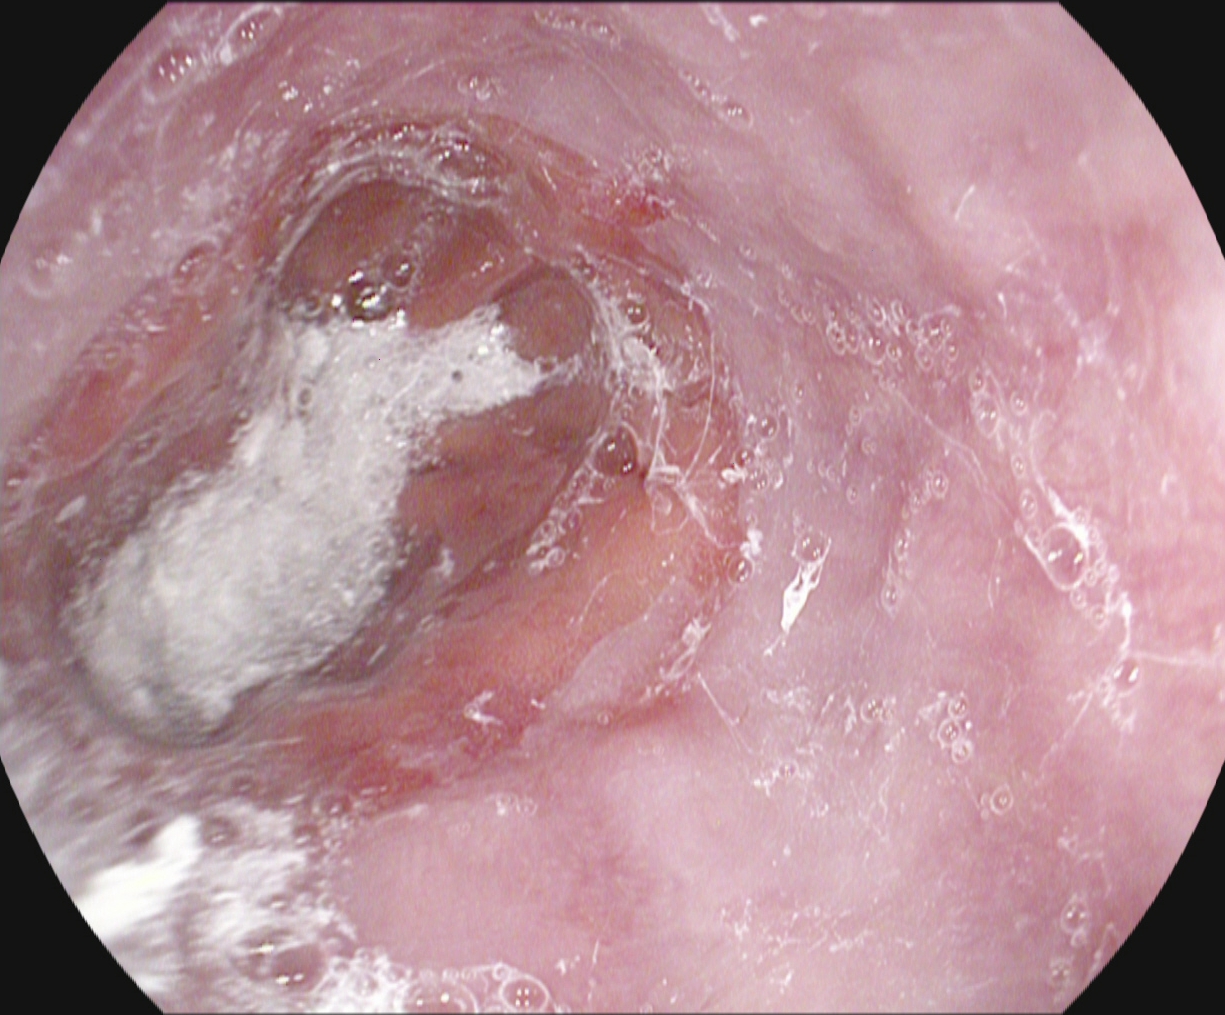modality: gastroscopy | tract: upper GI tract | category: pathological finding | finding: reflux esophagitis, Los Angeles grade A